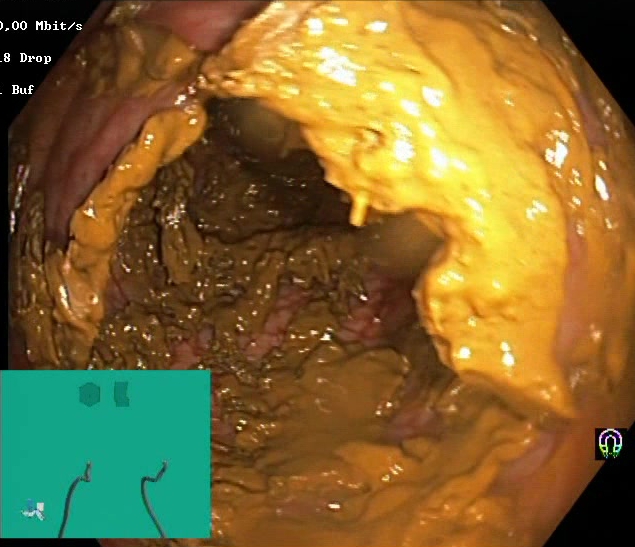{"modality": "lower gastrointestinal endoscopy", "tract": "lower GI tract", "finding": "BBPS score 0\u20131 (inadequate preparation)"}